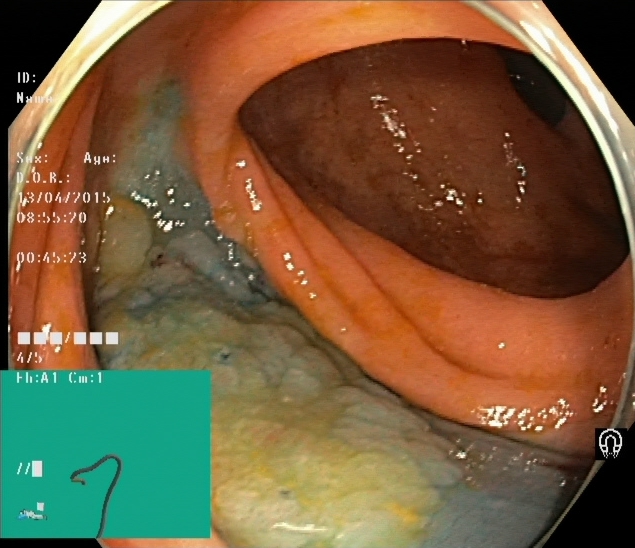Endoscopic image of the lower GI tract showing dyed and lifted polyp (pre-resection).